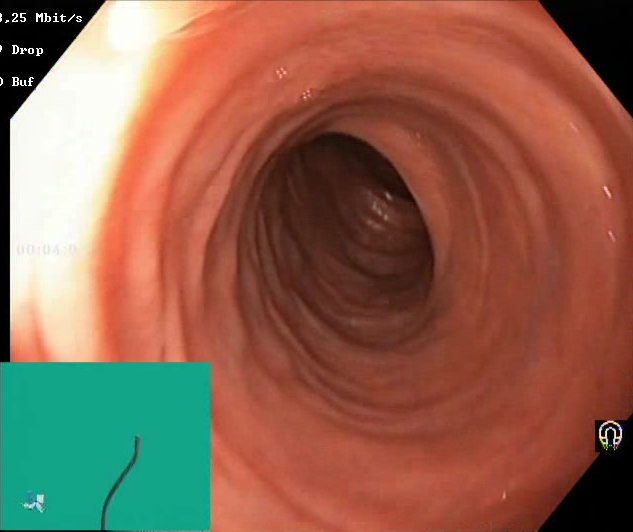modality: lower gastrointestinal endoscopy; finding: Boston Bowel Preparation Scale score 2–3 (adequate preparation)